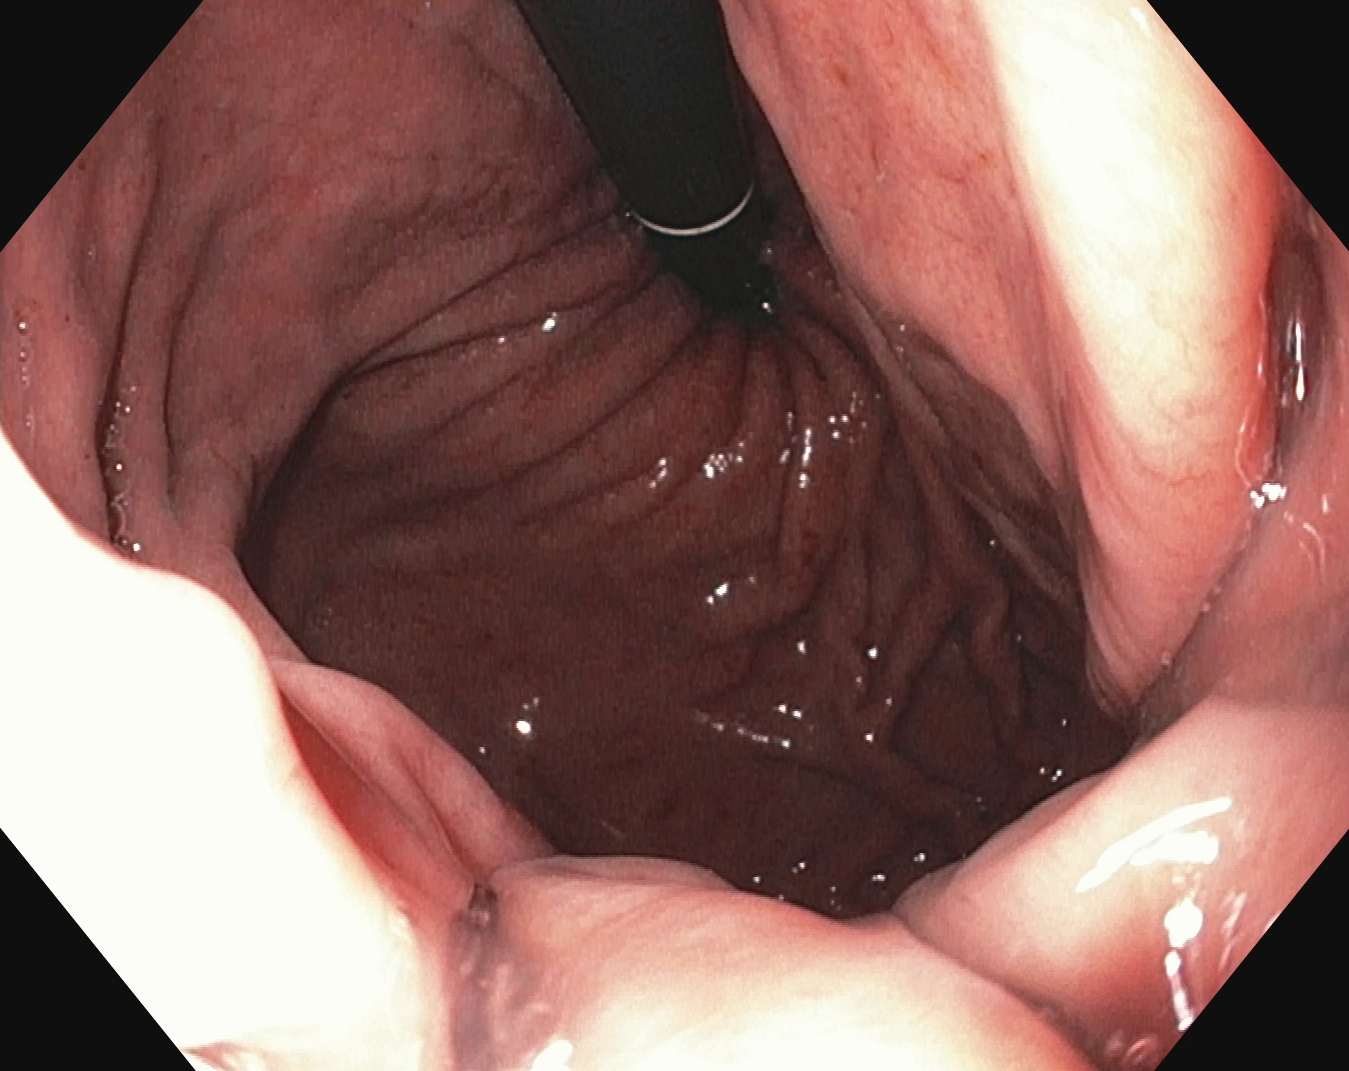Upper-GI endoscopy — stomach in retroflexion.